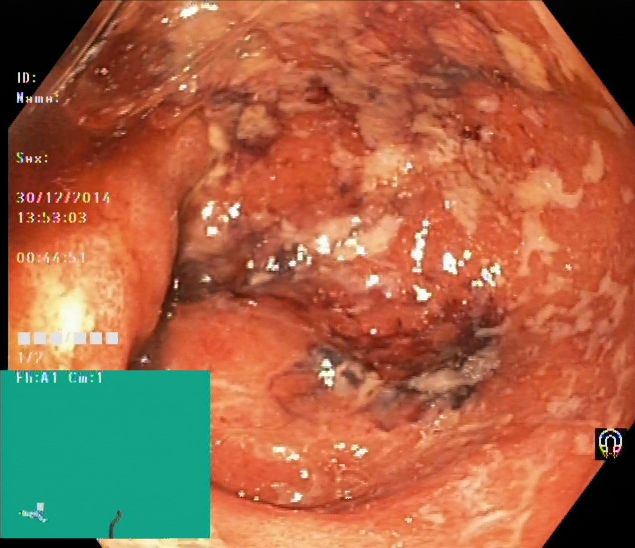This endoscopic image shows ulcerative colitis, Mayo endoscopic subscore 3.